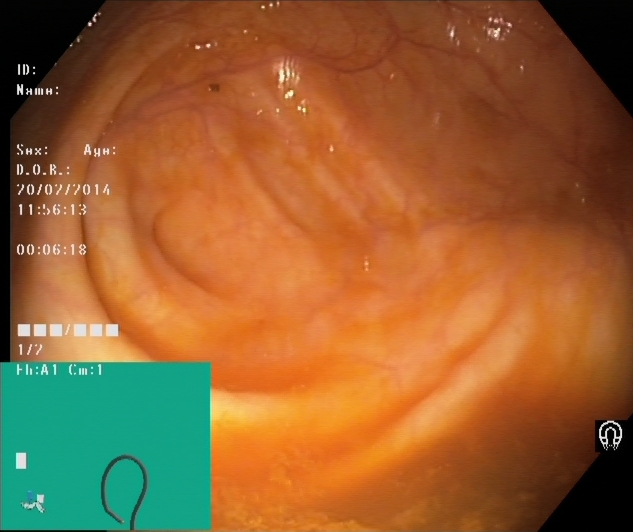{"modality": "lower gastrointestinal endoscopy", "category": "anatomical landmark", "finding": "cecum"}